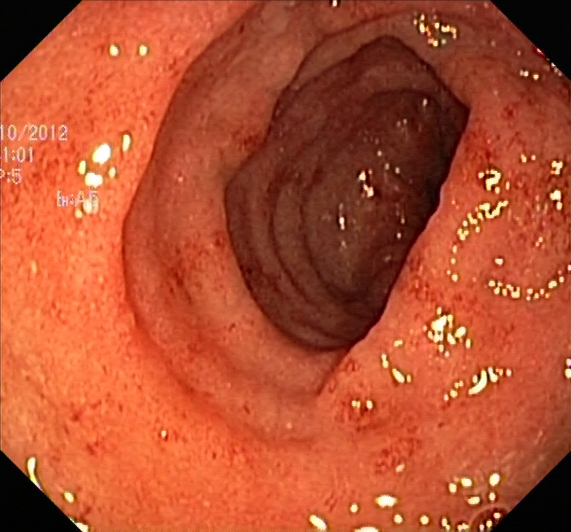modality: lower-GI endoscopy; category: pathological finding; finding: UC, Mayo endoscopic subscore 2